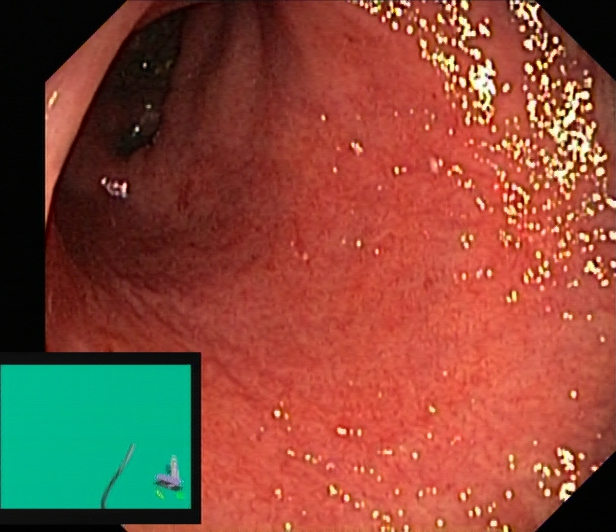PROCEDURE: Colonoscopy.
CATEGORY: Pathological finding.
FINDINGS: Ulcerative colitis, Mayo endoscopic subscore 2.